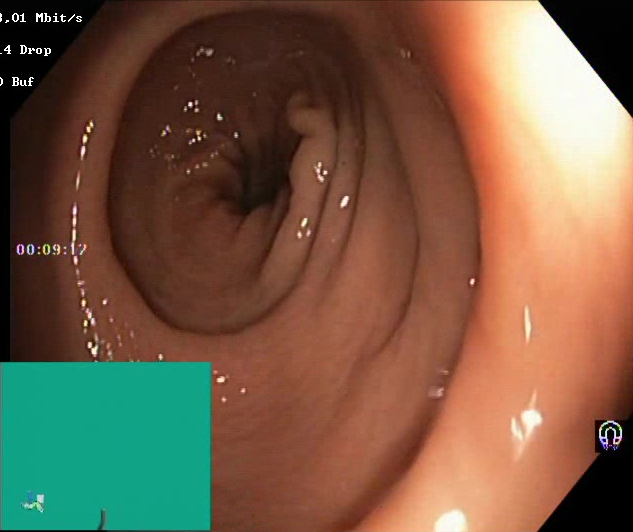{"modality": "colonoscopy", "tract": "lower GI tract", "category": "mucosal-view quality", "finding": "Boston Bowel Preparation Scale score 2\u20133 (adequate preparation)"}